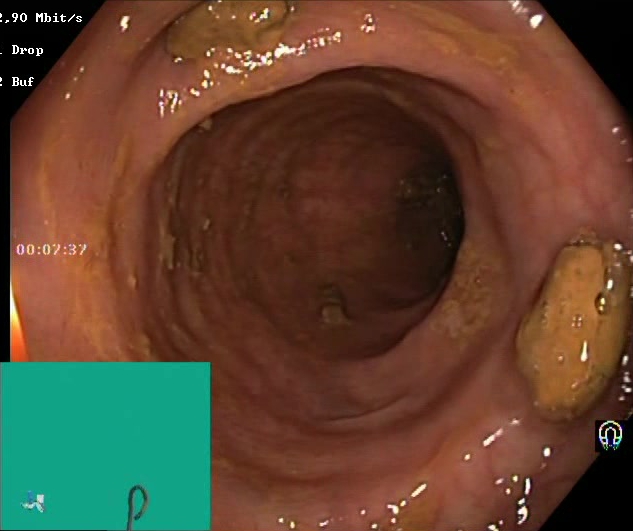modality: colonoscopy | finding: impacted stool